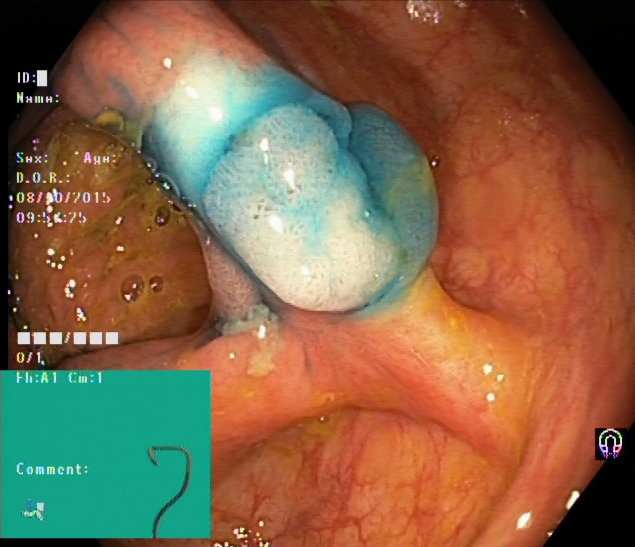dyed and lifted polyp (pre-resection).